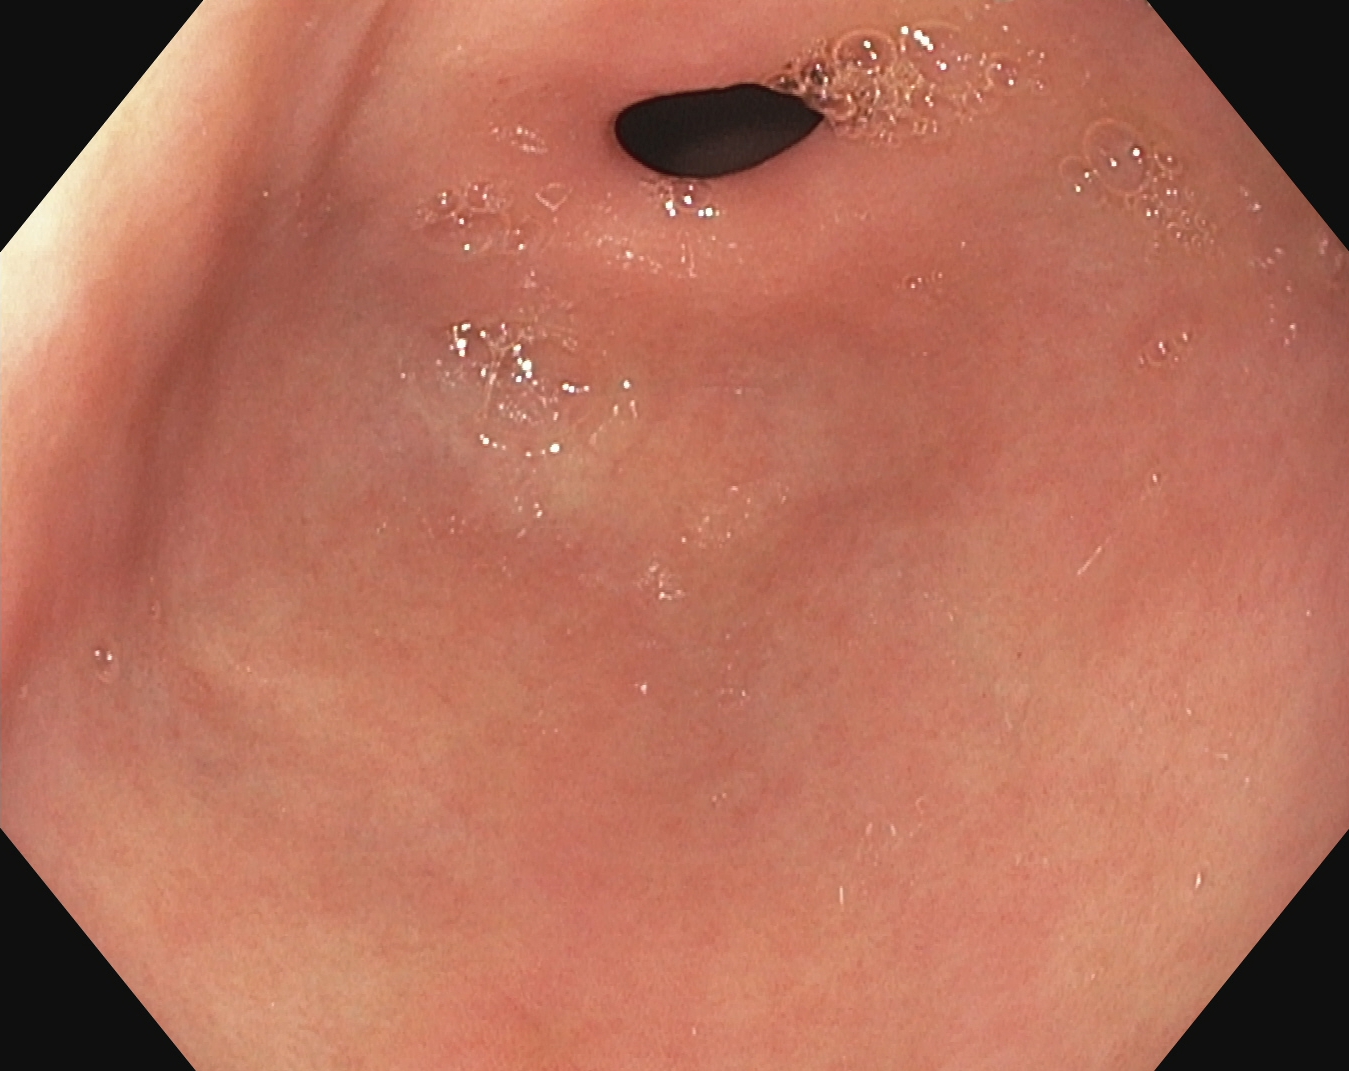Pylorus.